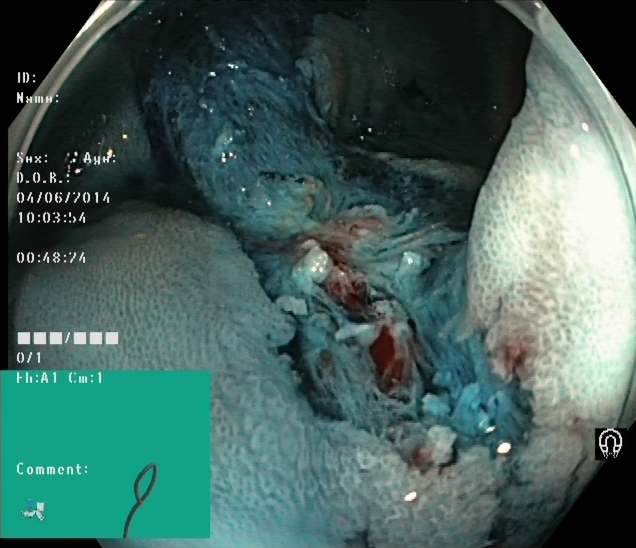Lower-GI endoscopy. Tract: lower GI tract. Finding: dyed resection margins (post-polypectomy).